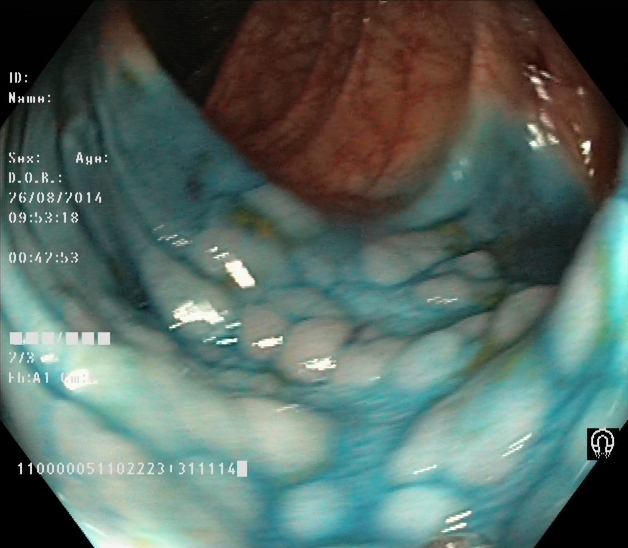Colonoscopy — dyed and lifted polyp (pre-resection).